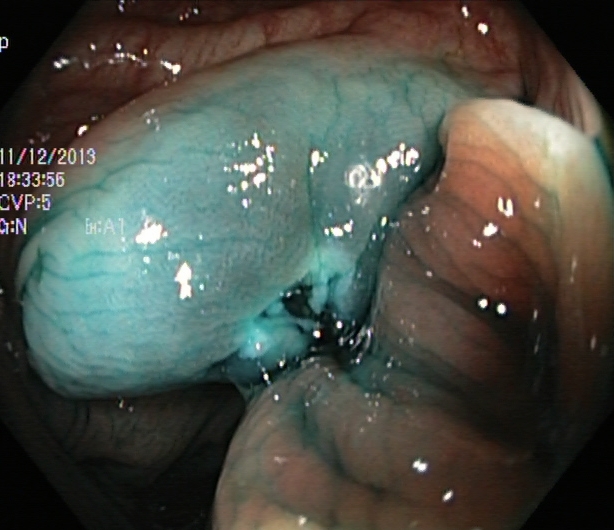Lower-GI endoscopy. Therapeutic intervention. Finding: dyed resection margins (post-polypectomy).